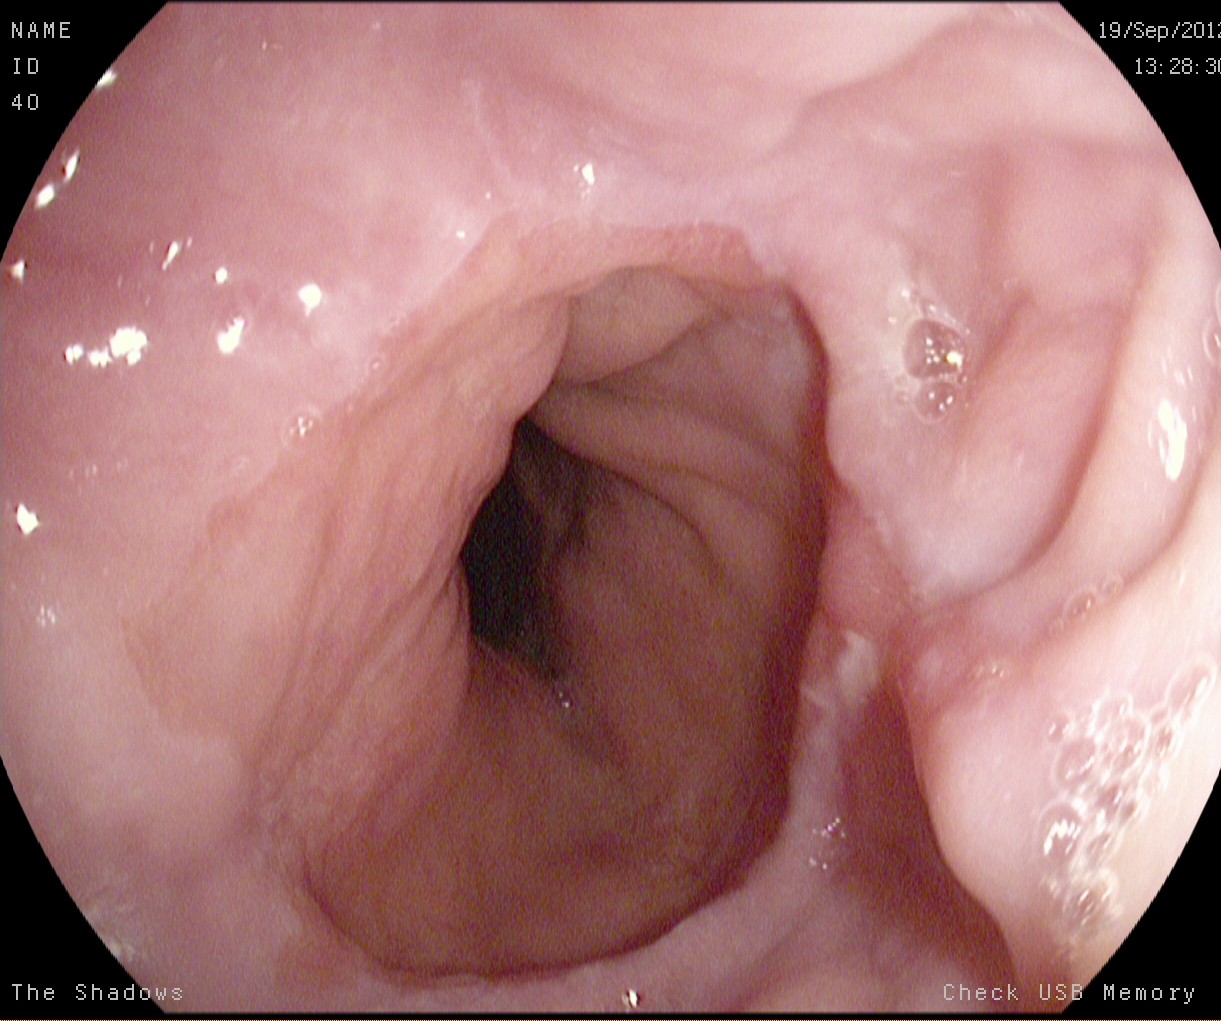GI endoscopy image of the upper GI tract showing reflux esophagitis, Los Angeles grade A.